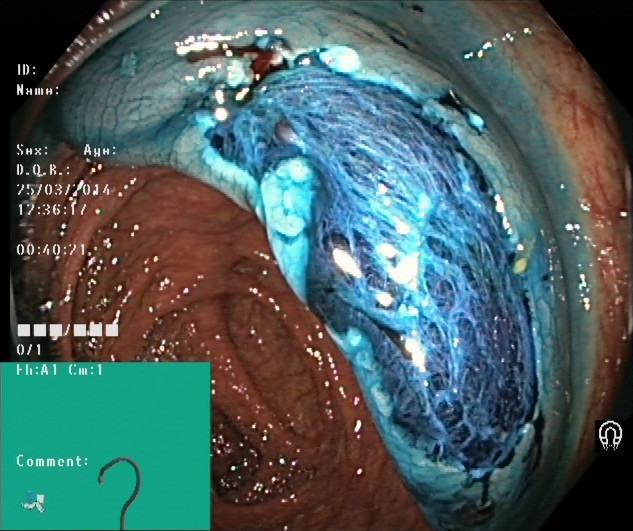Dyed resection margins (post-polypectomy).